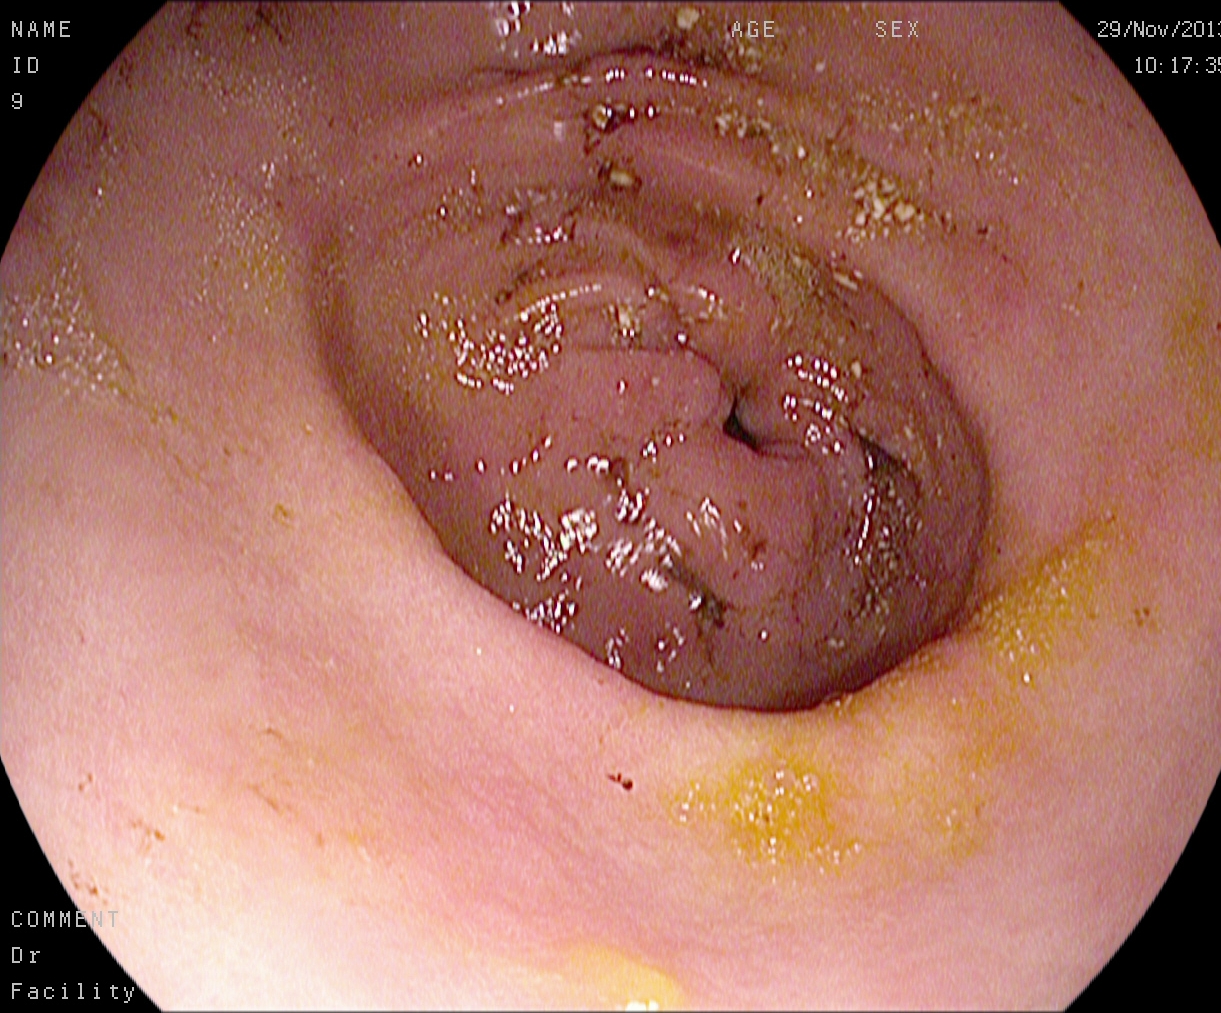Gastroscopy. Tract: upper GI tract. Anatomical landmark. Finding: pylorus.